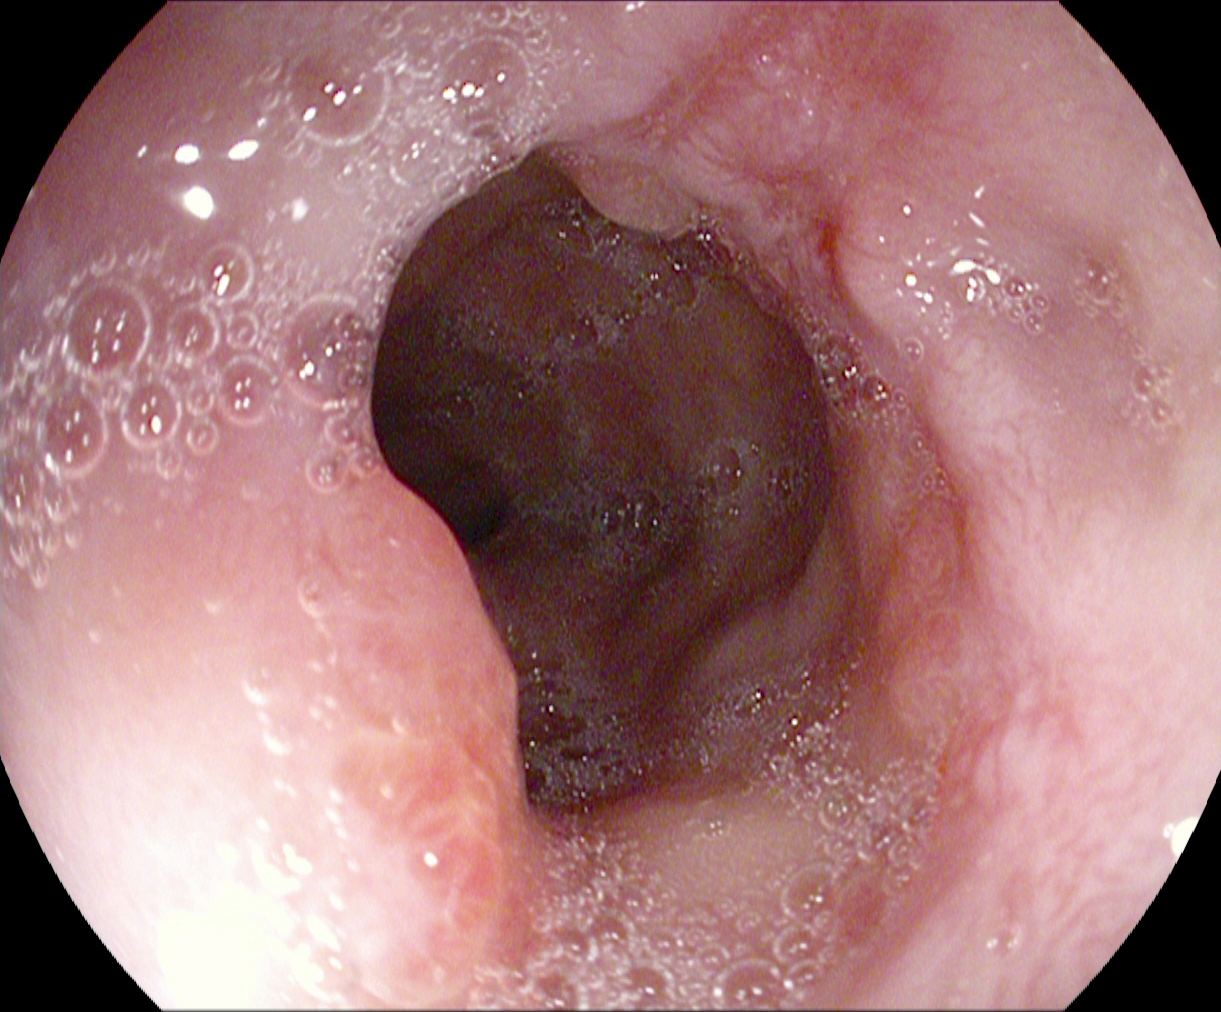PROCEDURE: EGD.
FINDINGS: Reflux esophagitis, Los Angeles grade A.